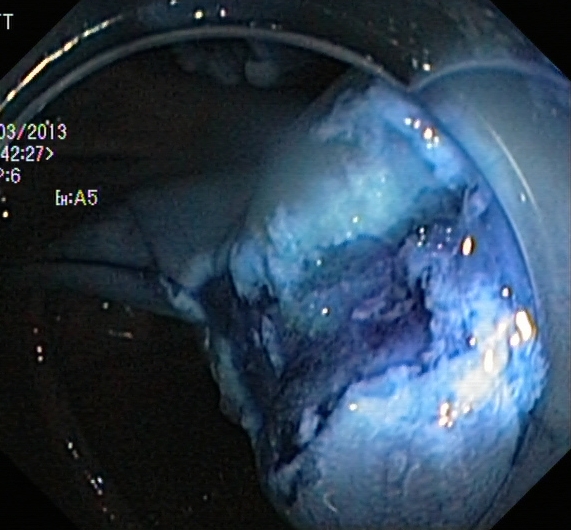modality: lower gastrointestinal endoscopy; finding: dyed resection margins (post-polypectomy)